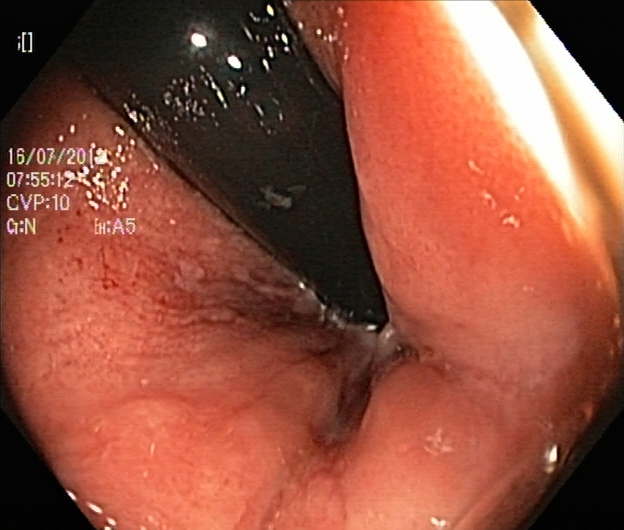Gastrointestinal endoscopy image showing rectum in retroflexion.